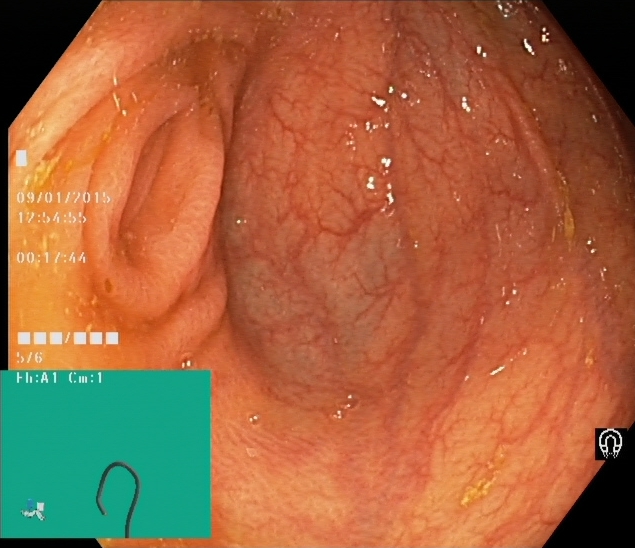Endoscopic image of the lower GI tract showing cecum.